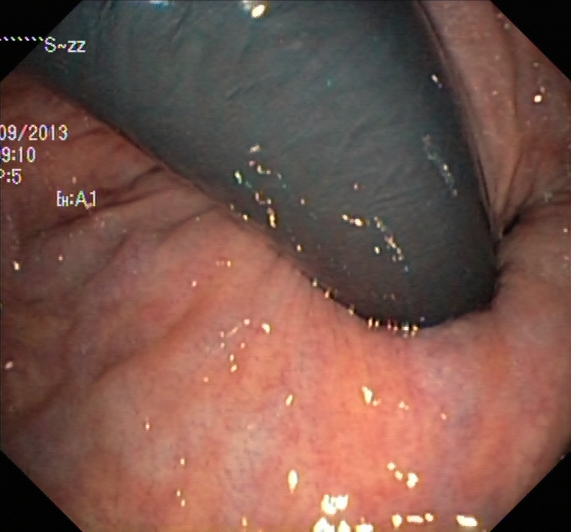Lower-GI endoscopy image of the lower GI tract showing rectum in retroflexion.